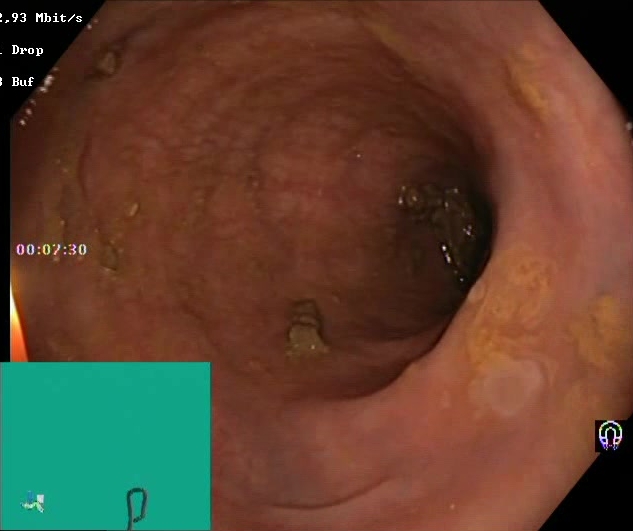{"modality": "lower gastrointestinal endoscopy", "finding": "BBPS score 2\u20133 (adequate preparation)"}